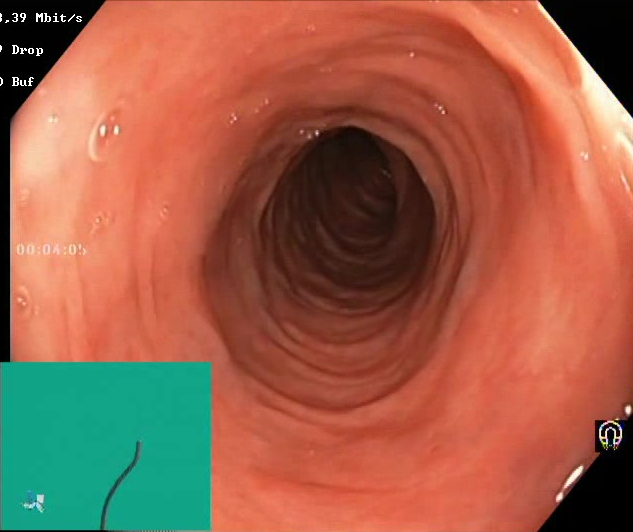{"modality": "colonoscopy", "finding": "Boston Bowel Preparation Scale score 2\u20133 (adequate preparation)"}